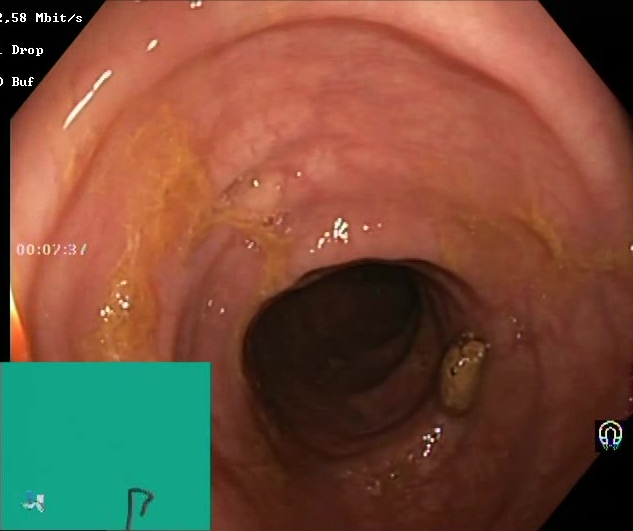BBPS score 2–3 (adequate preparation).